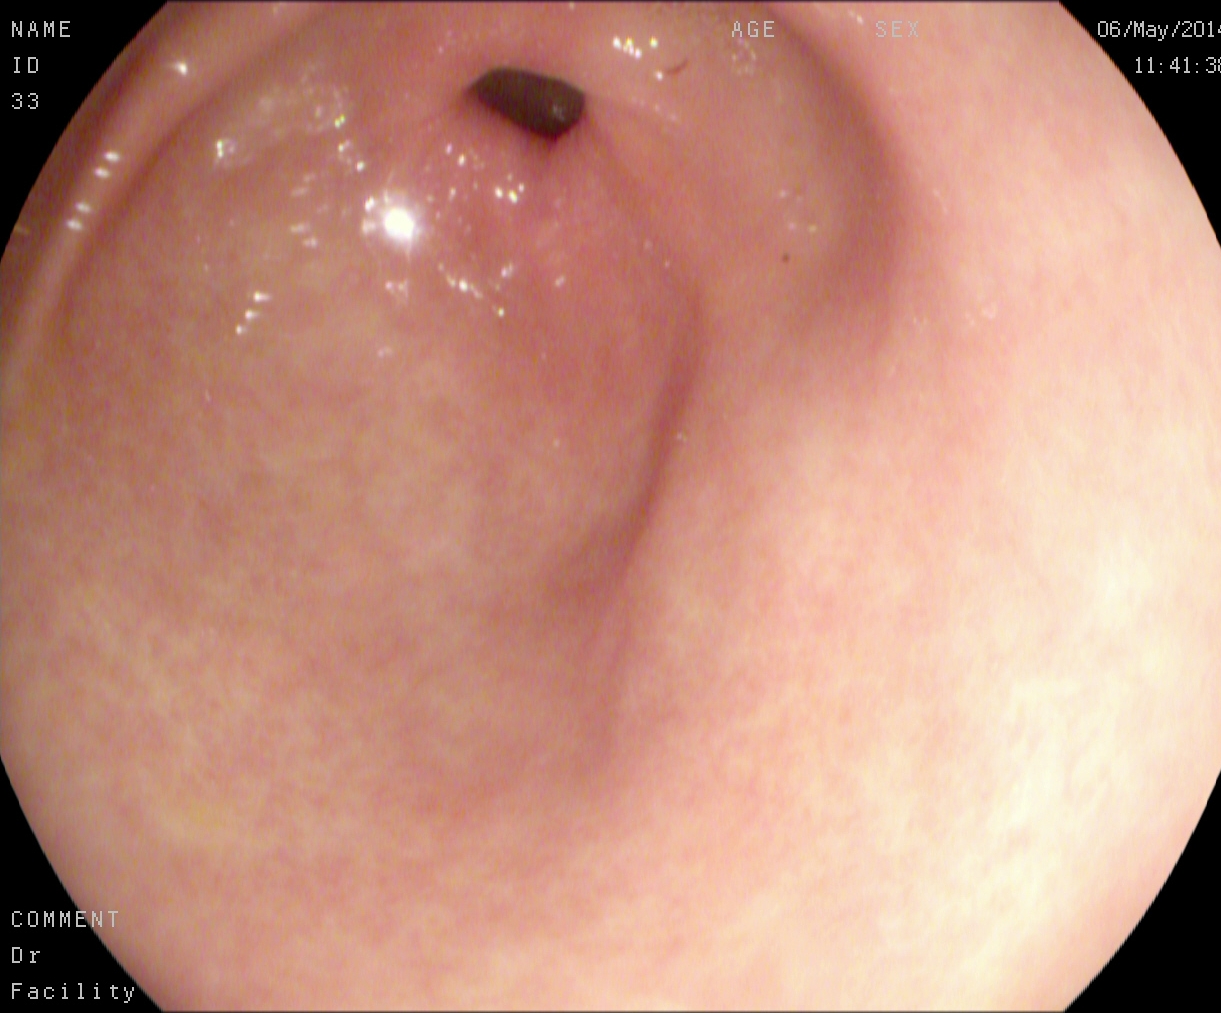modality: gastroscopy | finding: pylorus